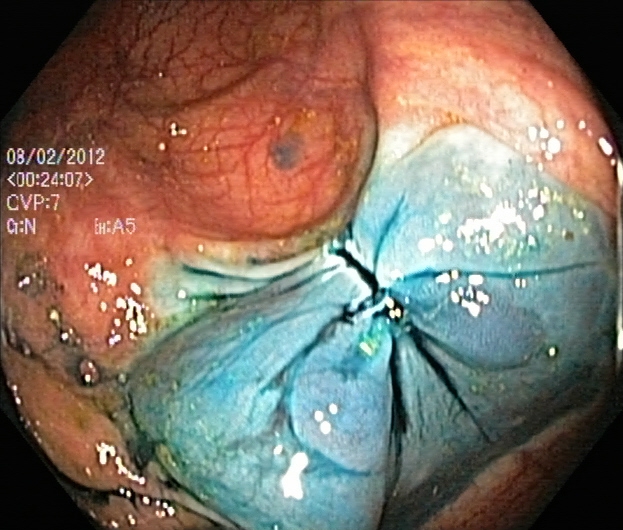Lower gastrointestinal endoscopy — dyed resection margins (post-polypectomy).